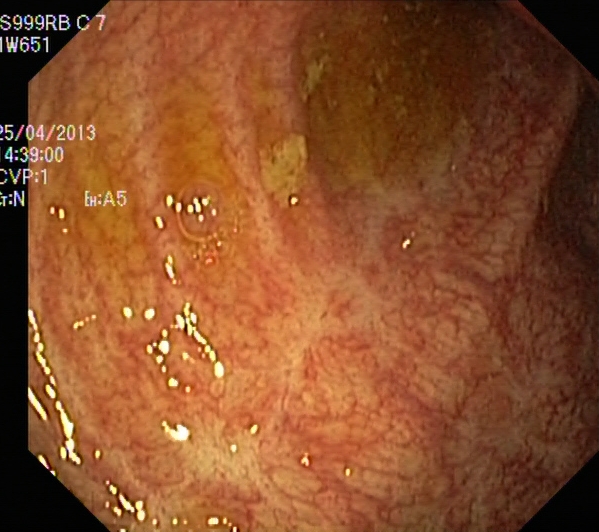PROCEDURE: Lower-GI endoscopy.
CATEGORY: Pathological finding.
FINDINGS: Ulcerative colitis, Mayo endoscopic subscore 0–1.